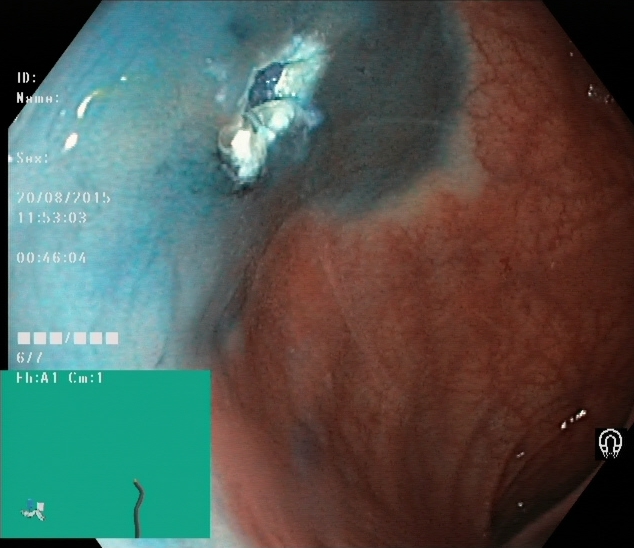modality: colonoscopy; tract: lower GI tract; finding: dyed resection margins (post-polypectomy)